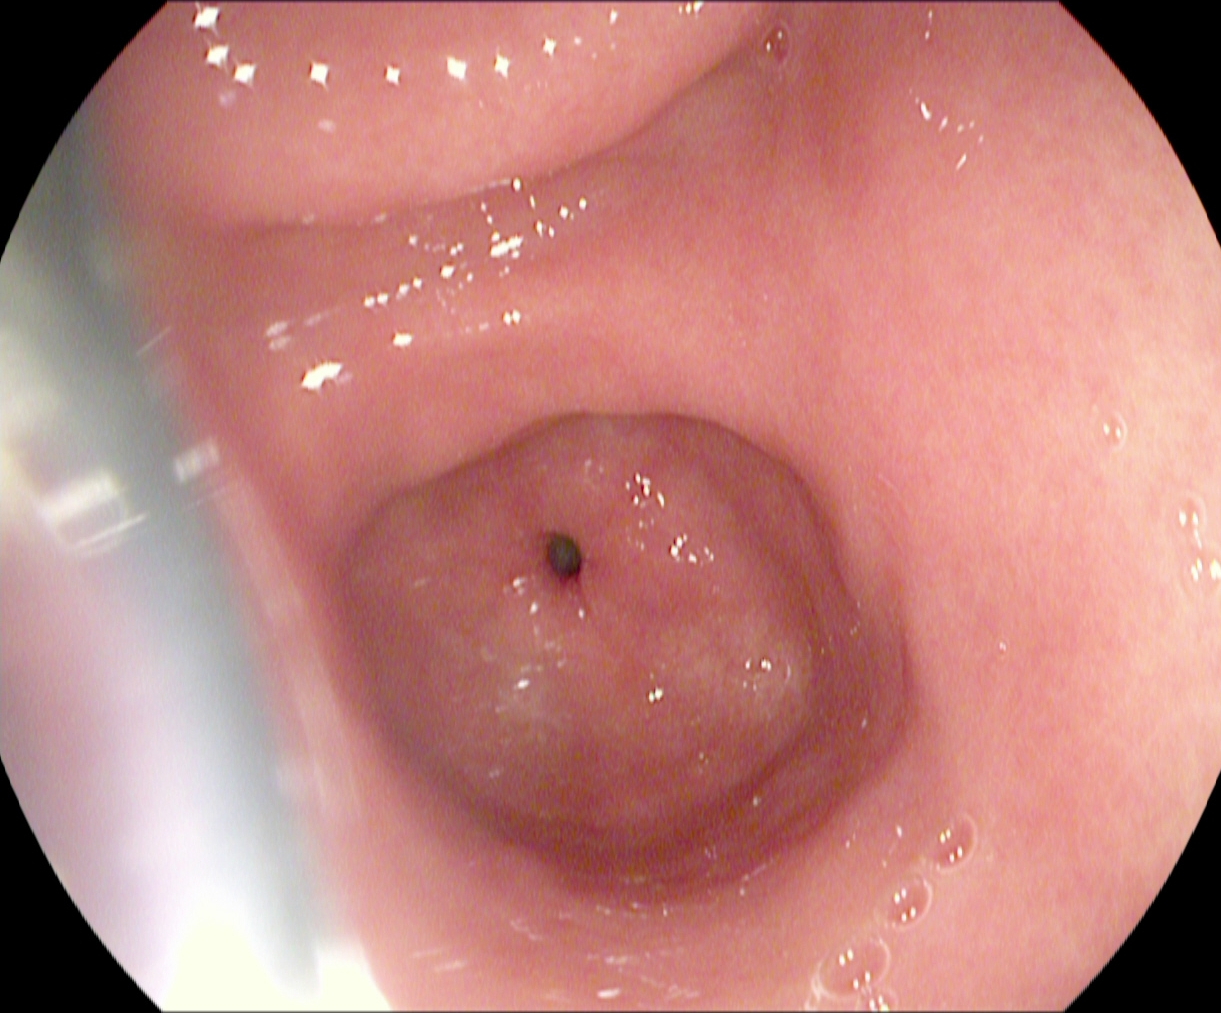{"modality": "upper-GI endoscopy", "tract": "upper GI tract", "finding": "pylorus"}